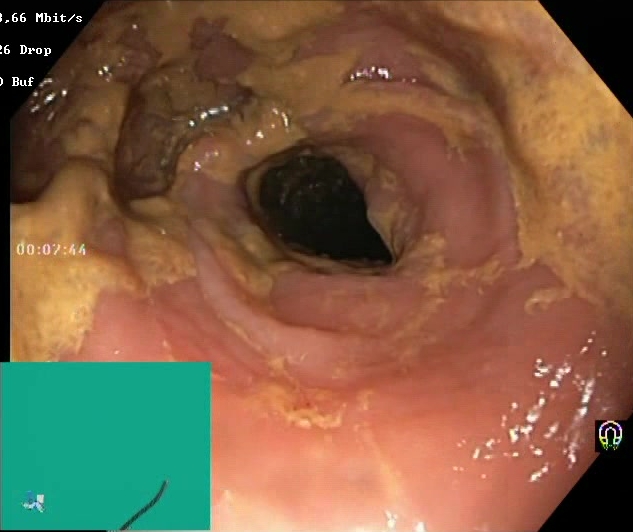Colonoscopy — Boston Bowel Preparation Scale score 0–1 (inadequate preparation).